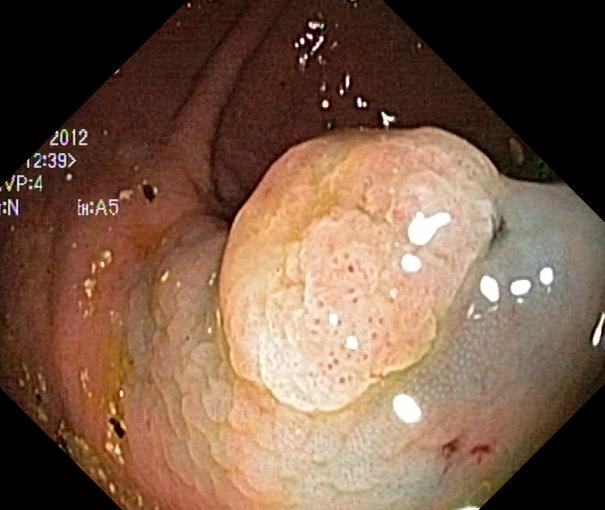PROCEDURE: Colonoscopy.
CATEGORY: Pathological finding.
FINDINGS: Colorectal polyp(s).